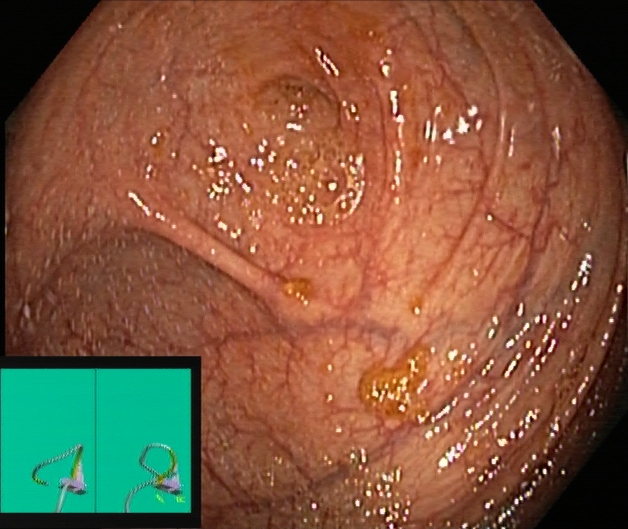Lower-GI endoscopy — cecum.